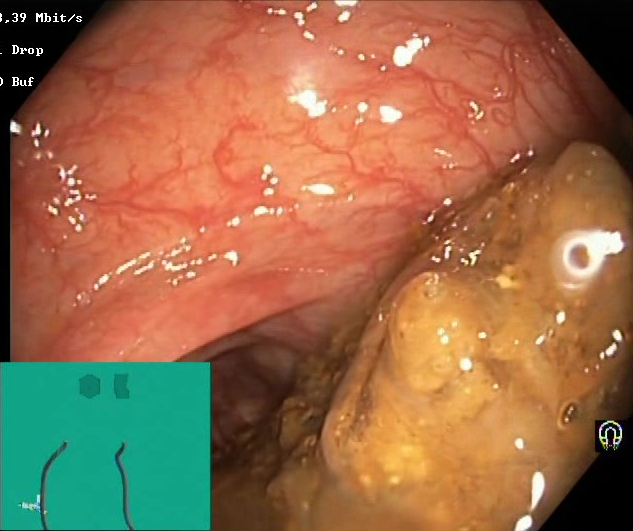Boston Bowel Preparation Scale score 0–1 (inadequate preparation).